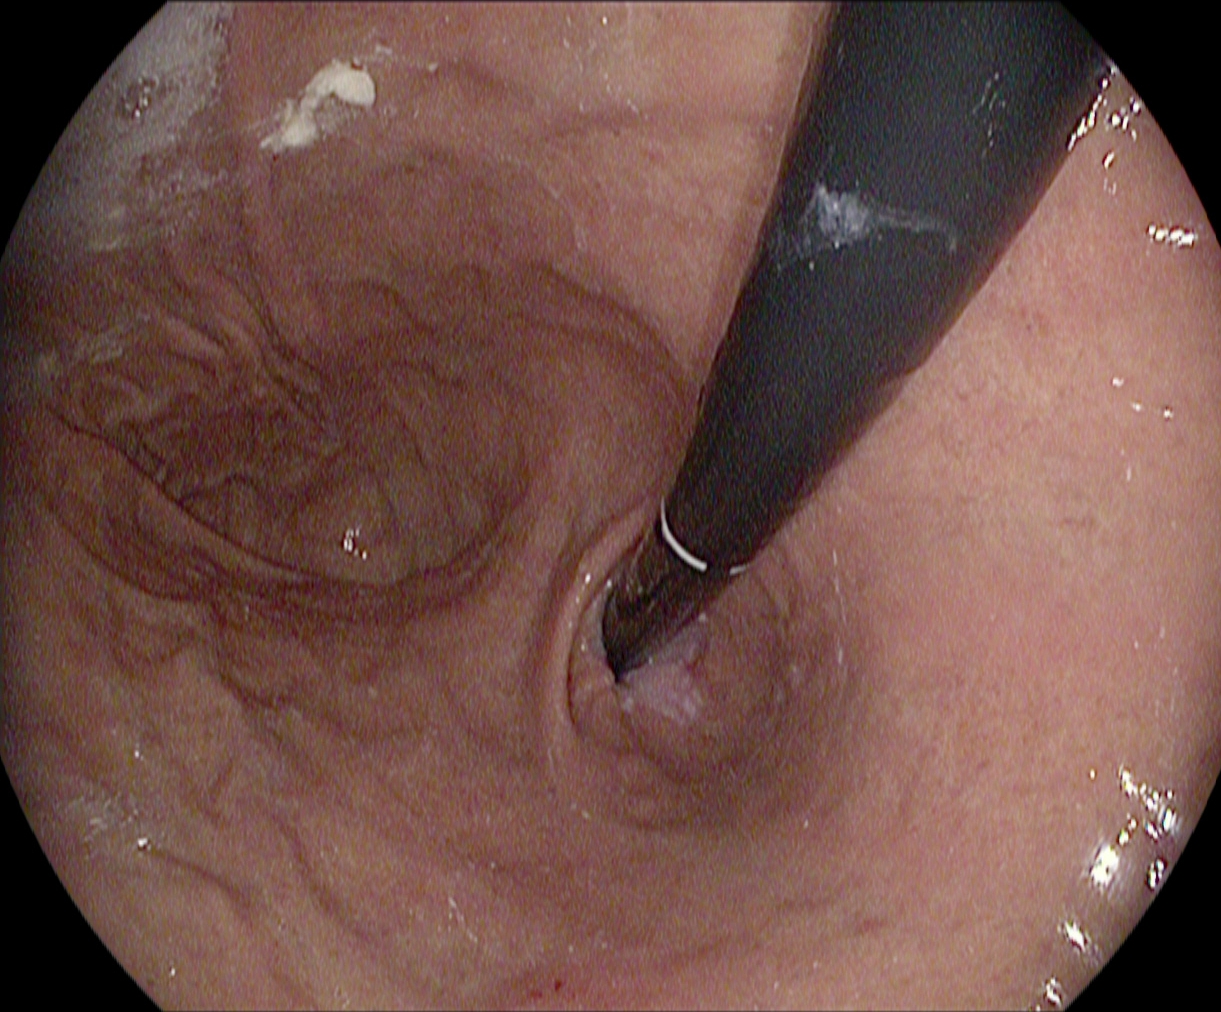PROCEDURE: Esophagogastroduodenoscopy.
FINDINGS: Stomach in retroflexion.